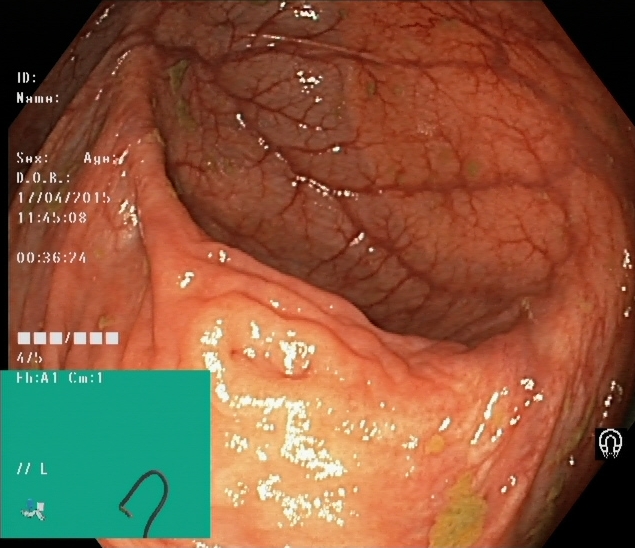Lower-GI endoscopy. Finding: cecum.